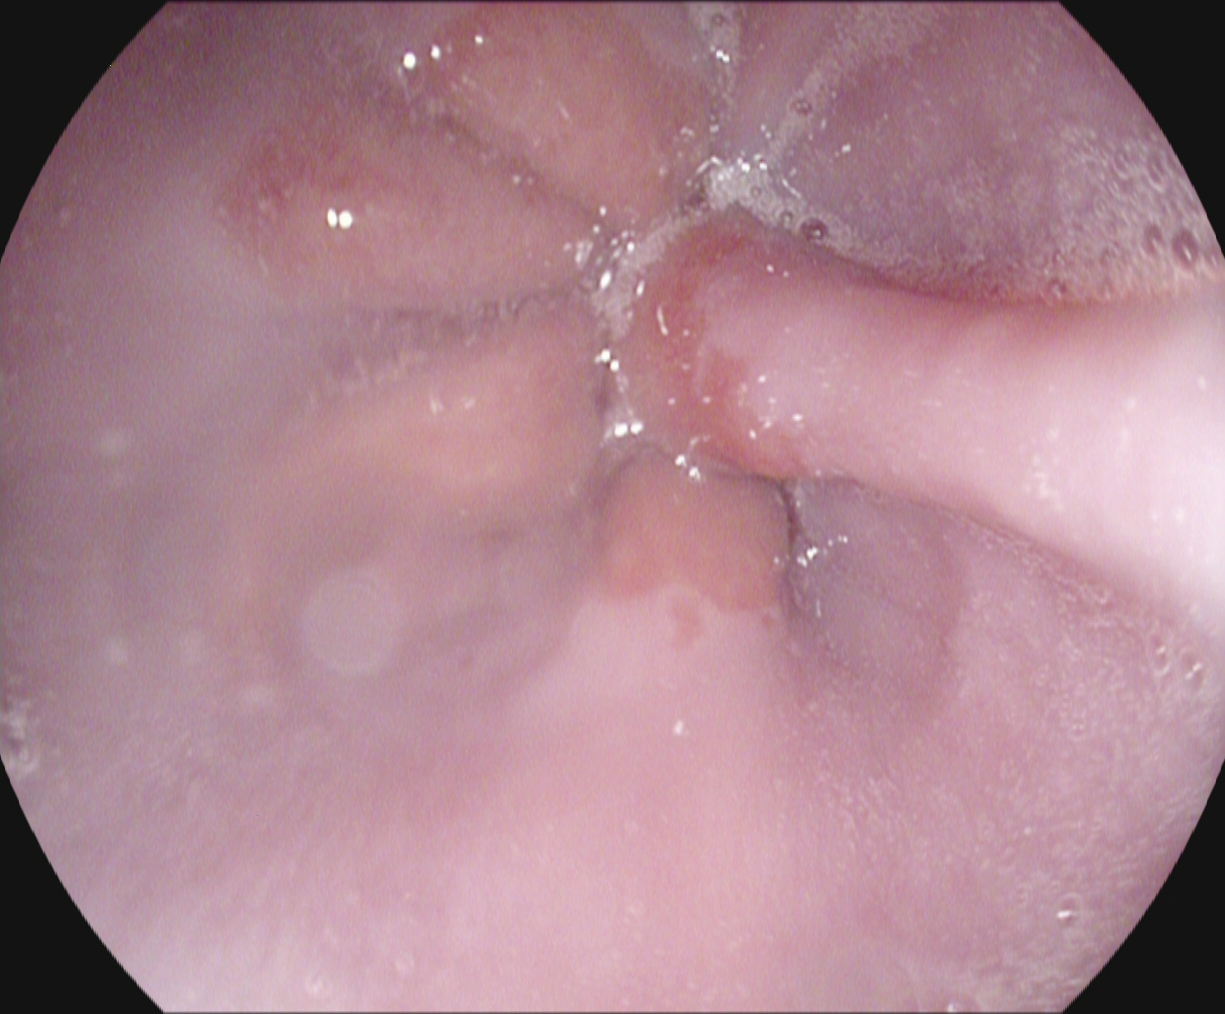PROCEDURE: EGD.
FINDINGS: Z-line (gastroesophageal junction).